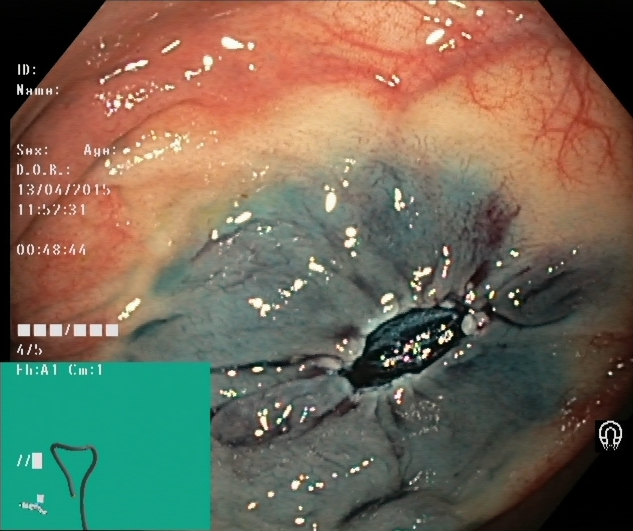Lower gastrointestinal endoscopy. Tract: lower GI tract. Finding: dyed resection margins (post-polypectomy).